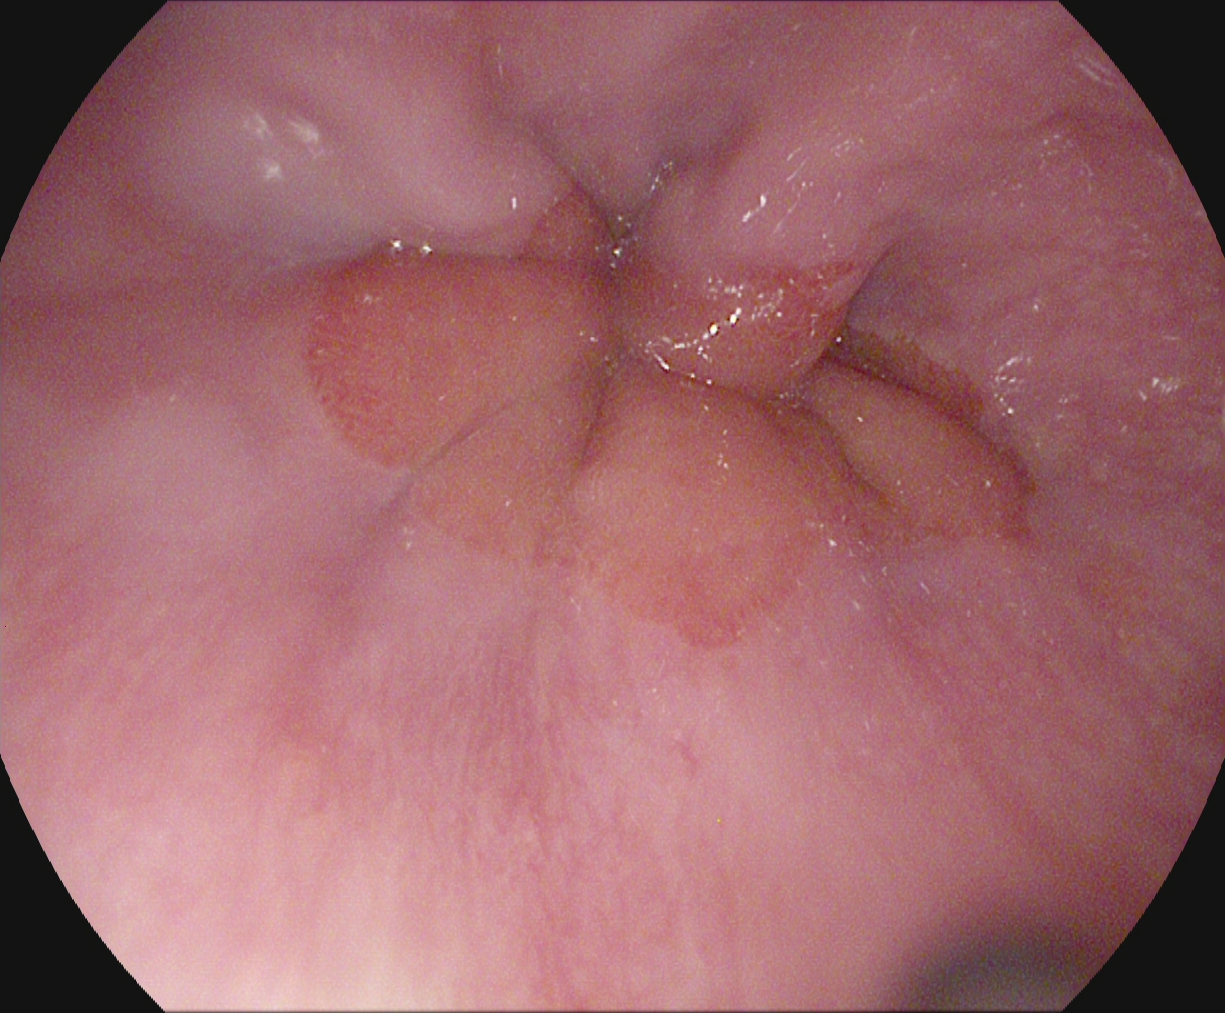PROCEDURE: Esophagogastroduodenoscopy.
FINDINGS: Z-line (gastroesophageal junction).